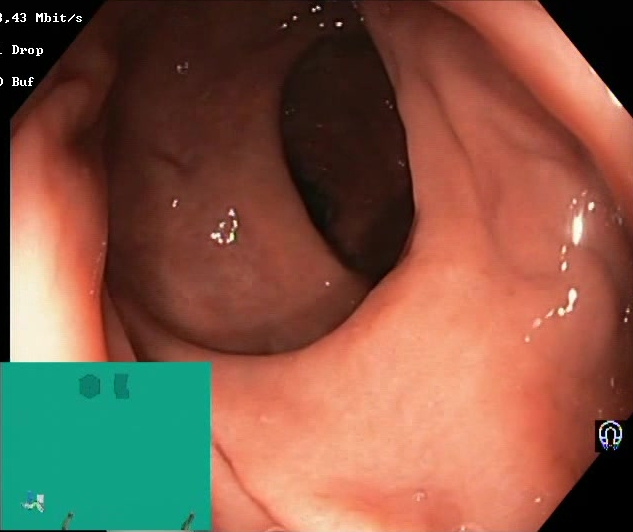Boston Bowel Preparation Scale score 2–3 (adequate preparation).